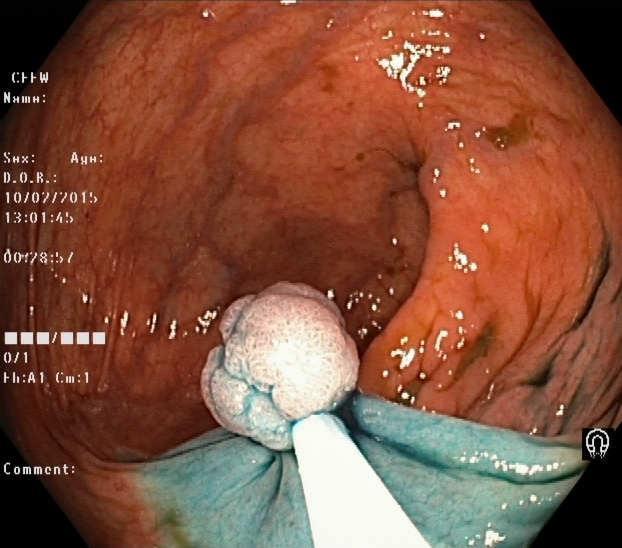Dyed and lifted polyp (pre-resection).